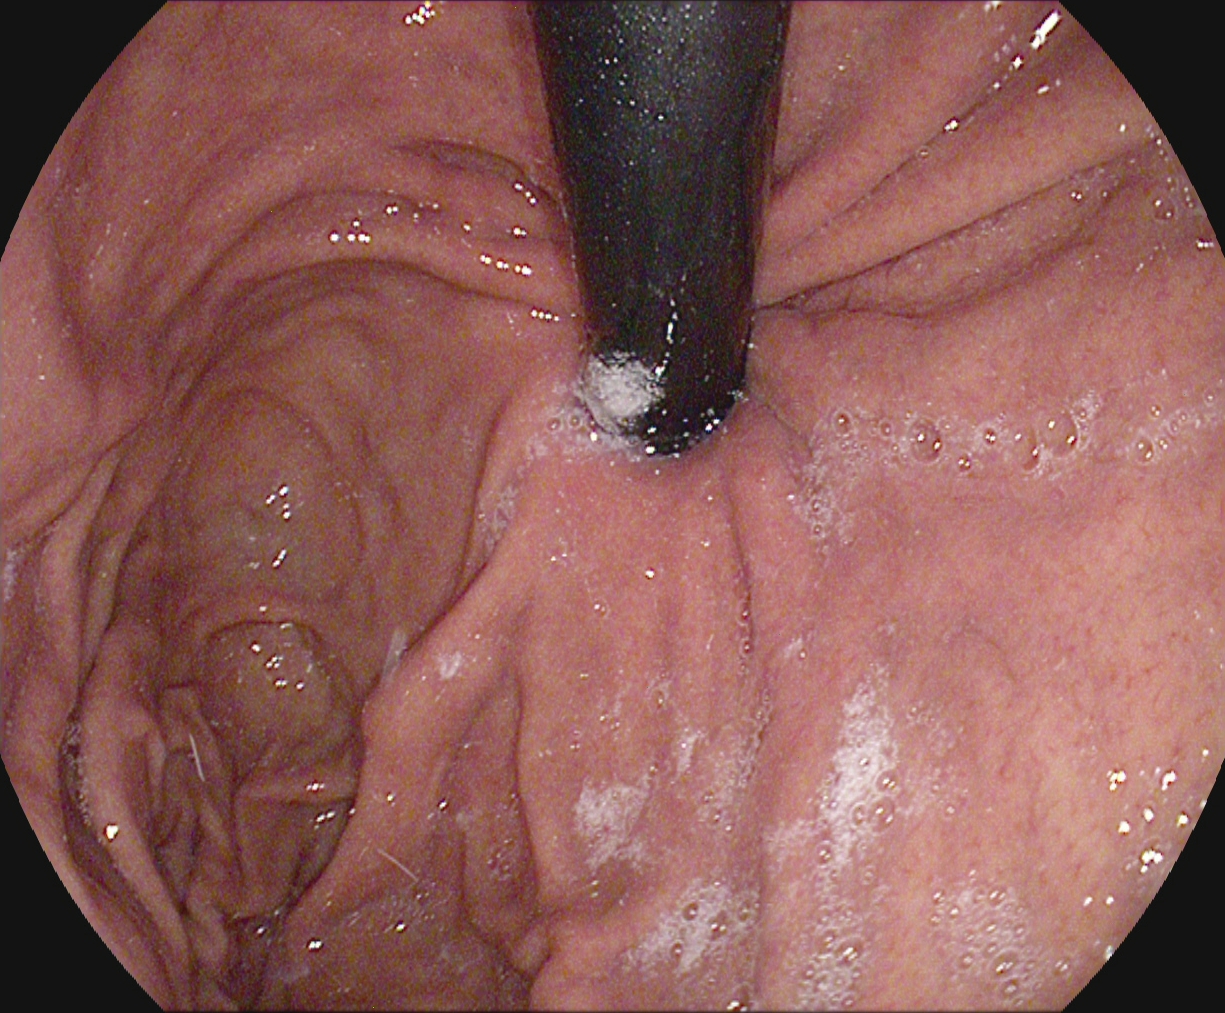Upper-GI endoscopy image of the upper GI tract showing stomach in retroflexion.